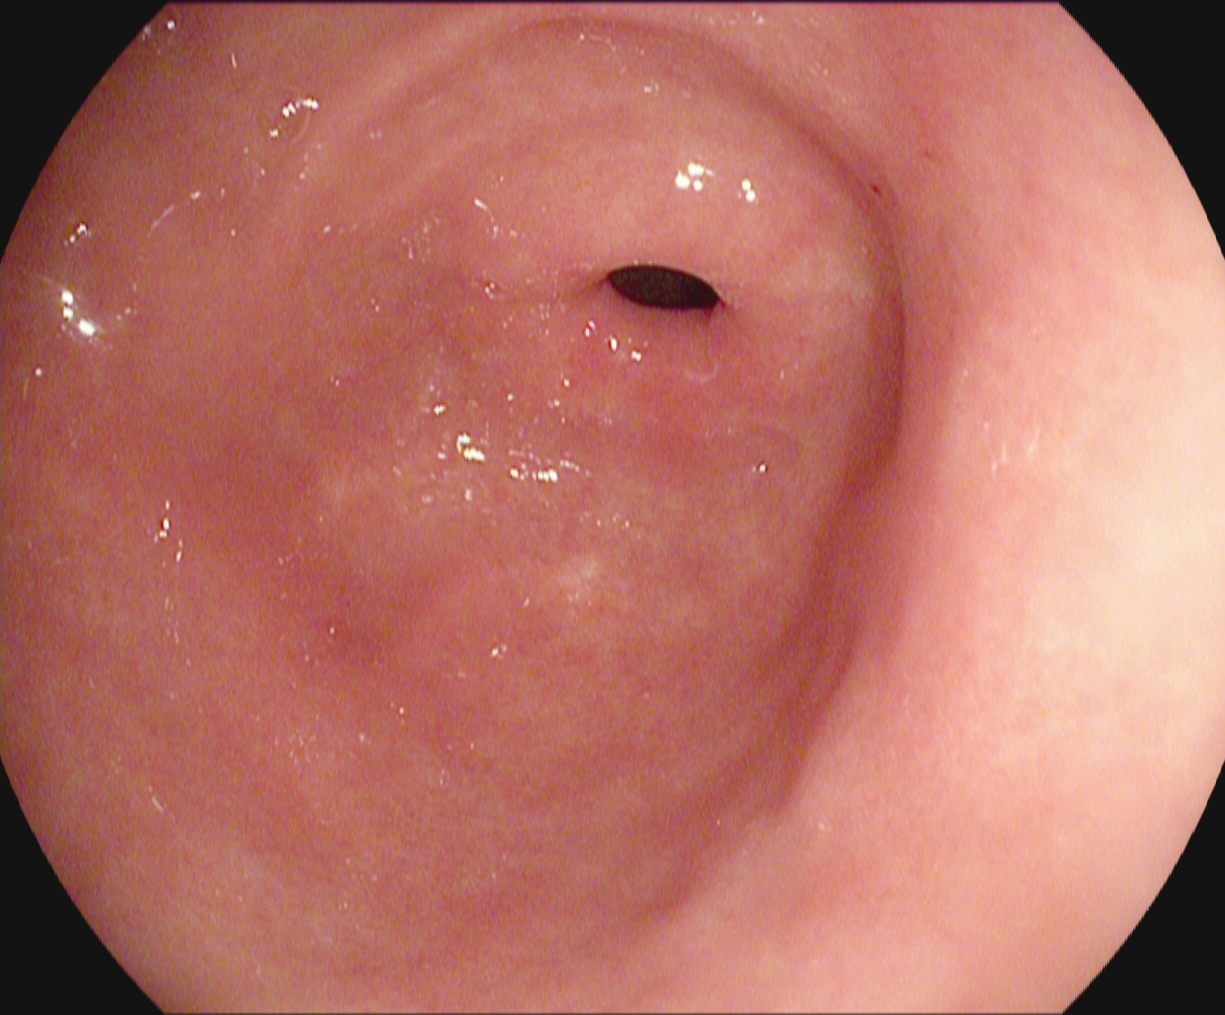This endoscopic image of the upper GI tract shows pylorus.